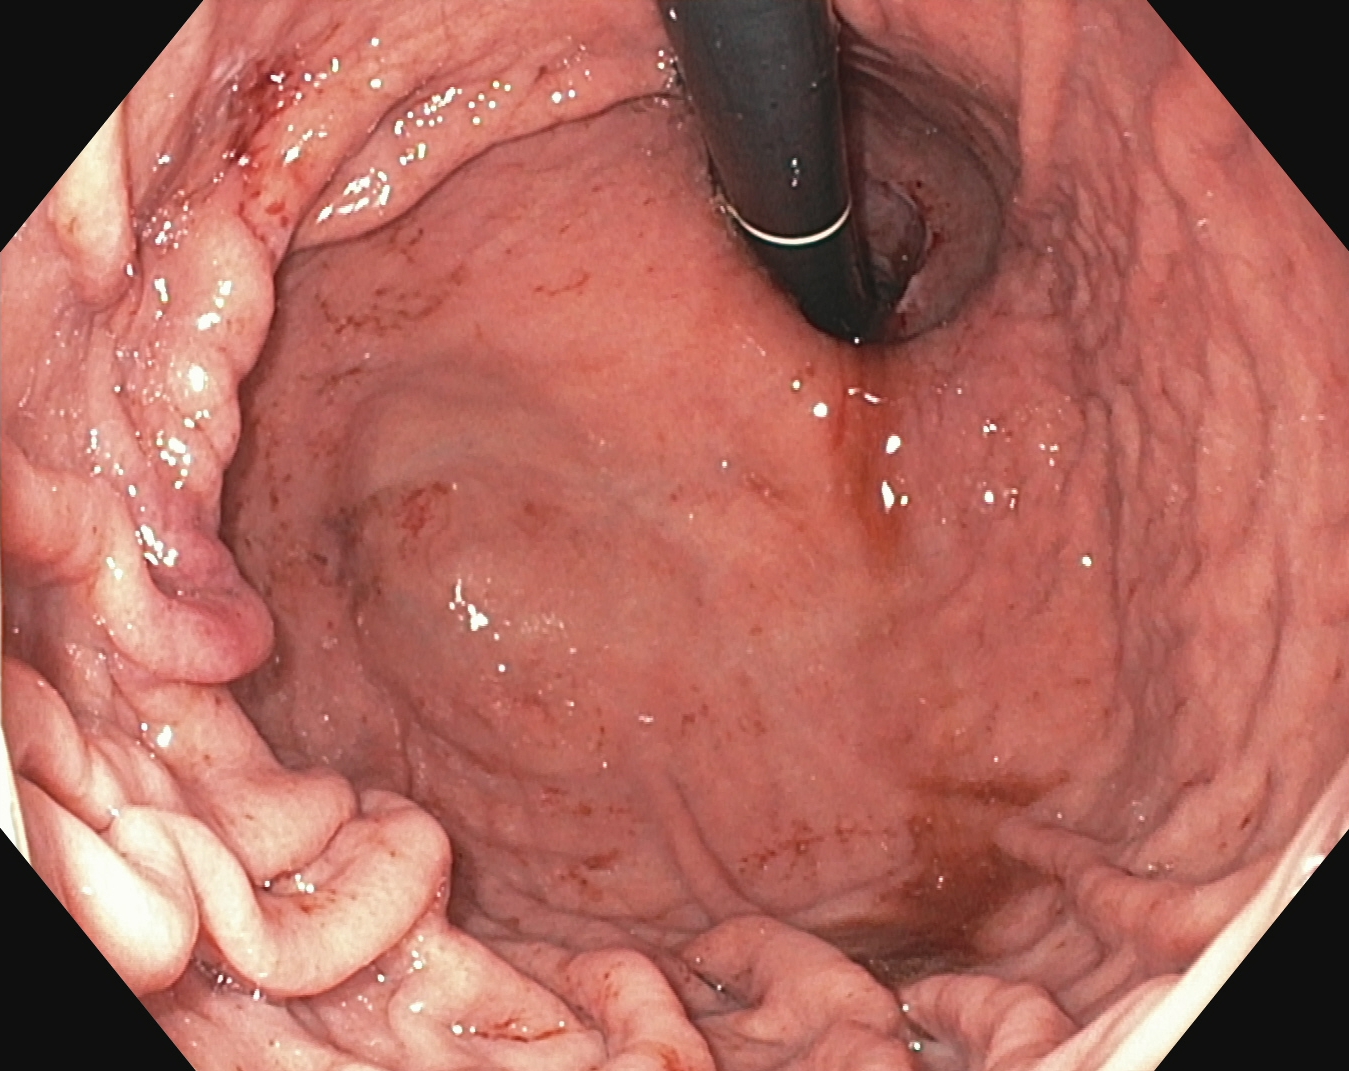Esophagogastroduodenoscopy — stomach in retroflexion.